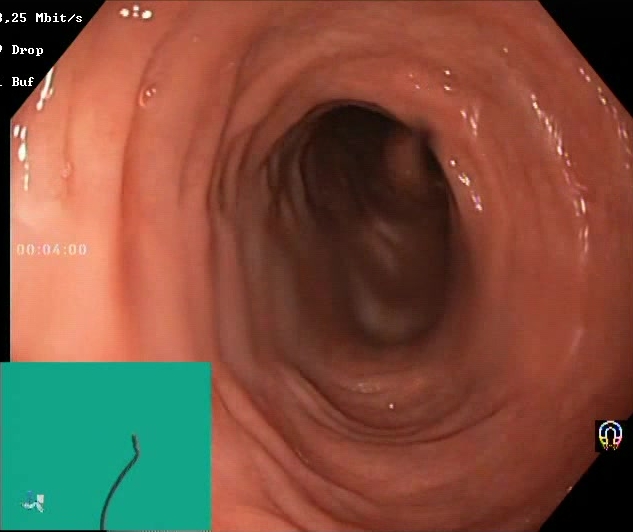Boston Bowel Preparation Scale score 2–3 (adequate preparation).